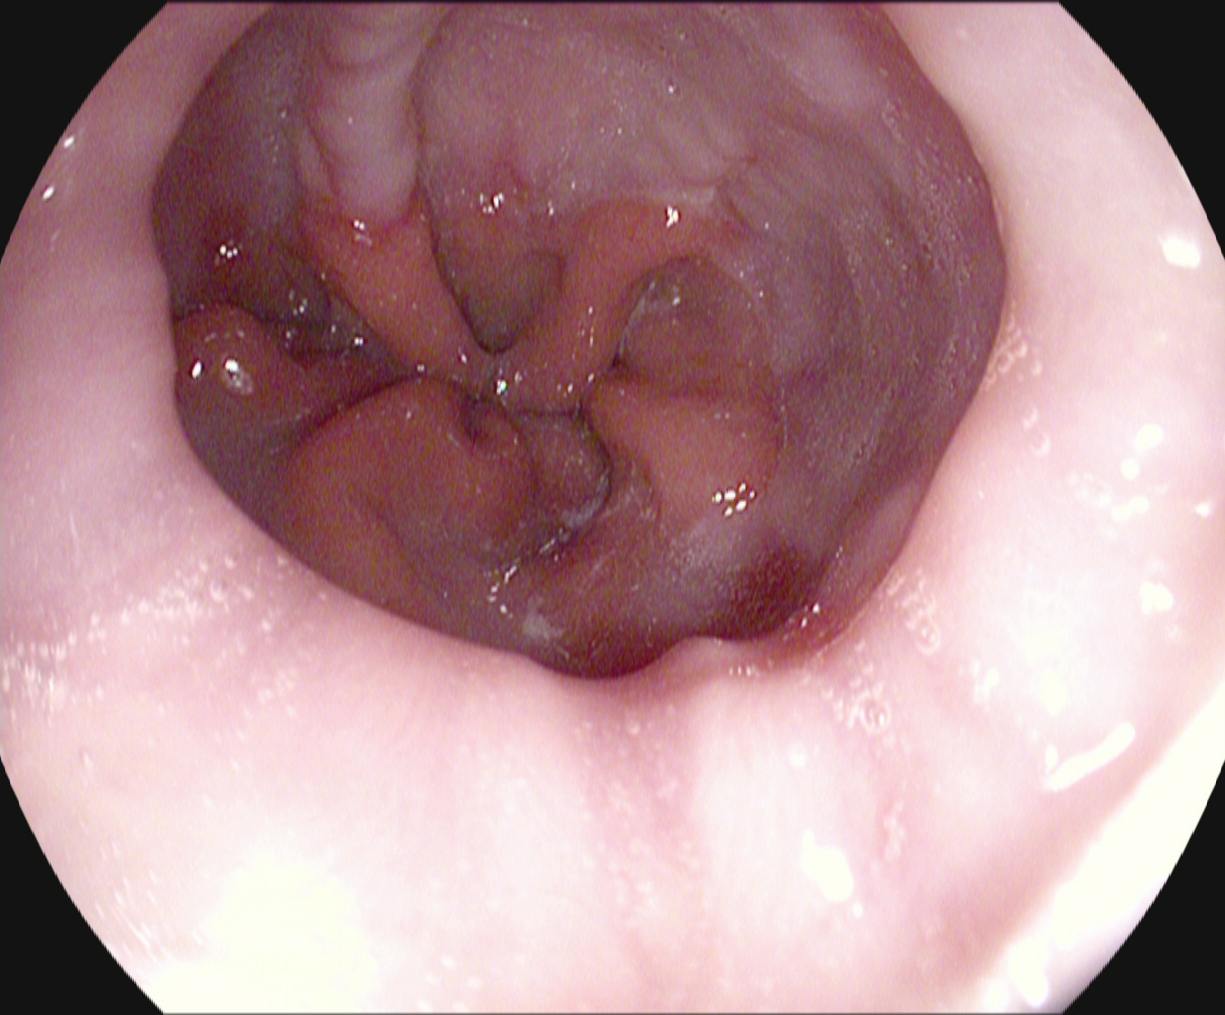Upper-GI endoscopy — reflux esophagitis, Los Angeles grade A.